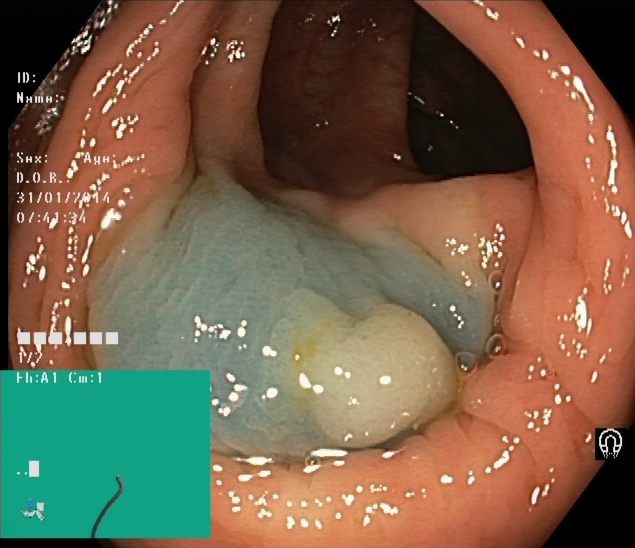This endoscopic image of the lower GI tract shows dyed and lifted polyp (pre-resection).